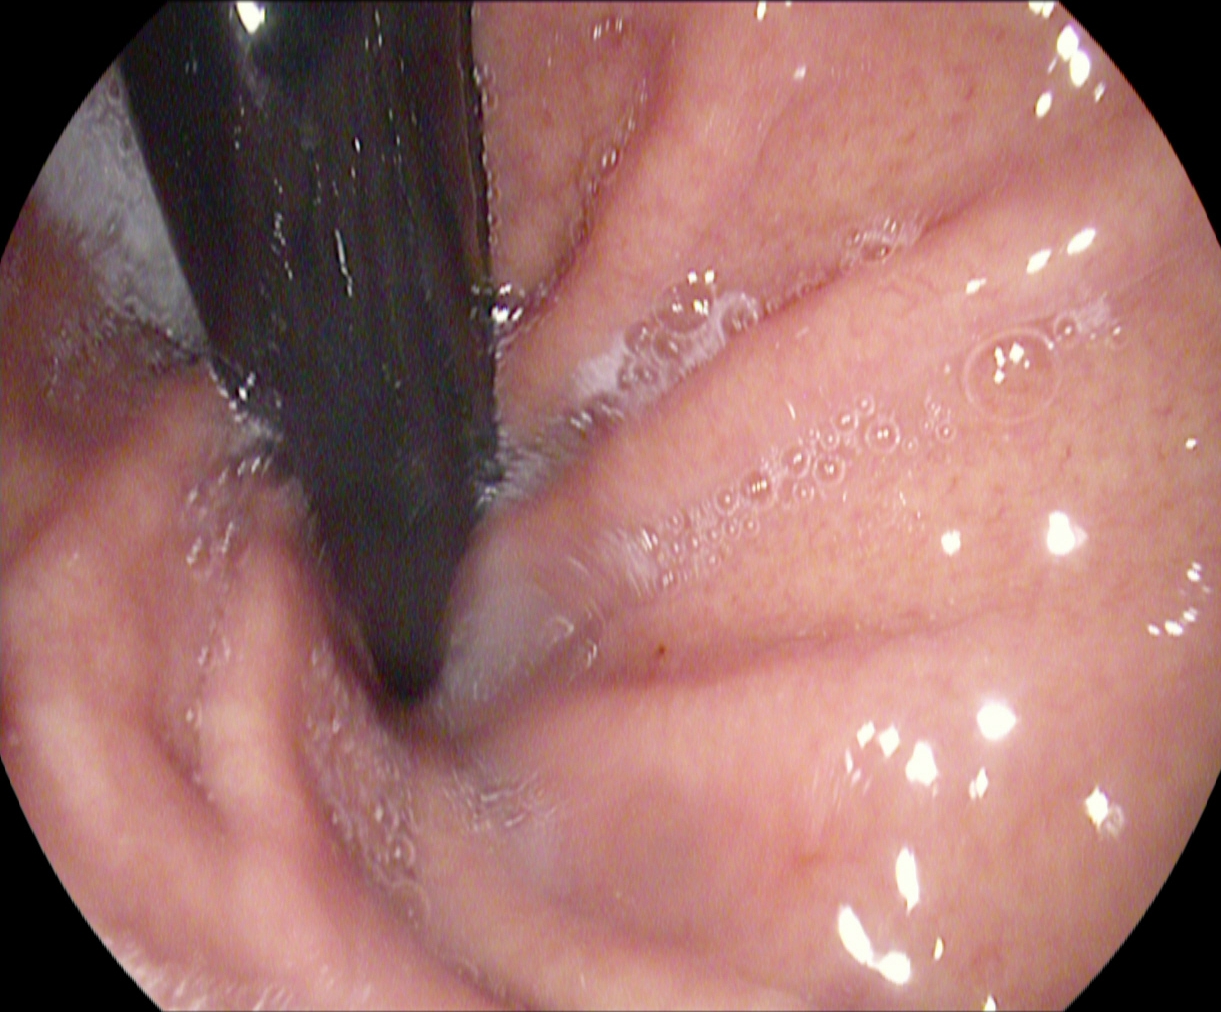Gastroscopy image of the upper GI tract showing stomach in retroflexion.